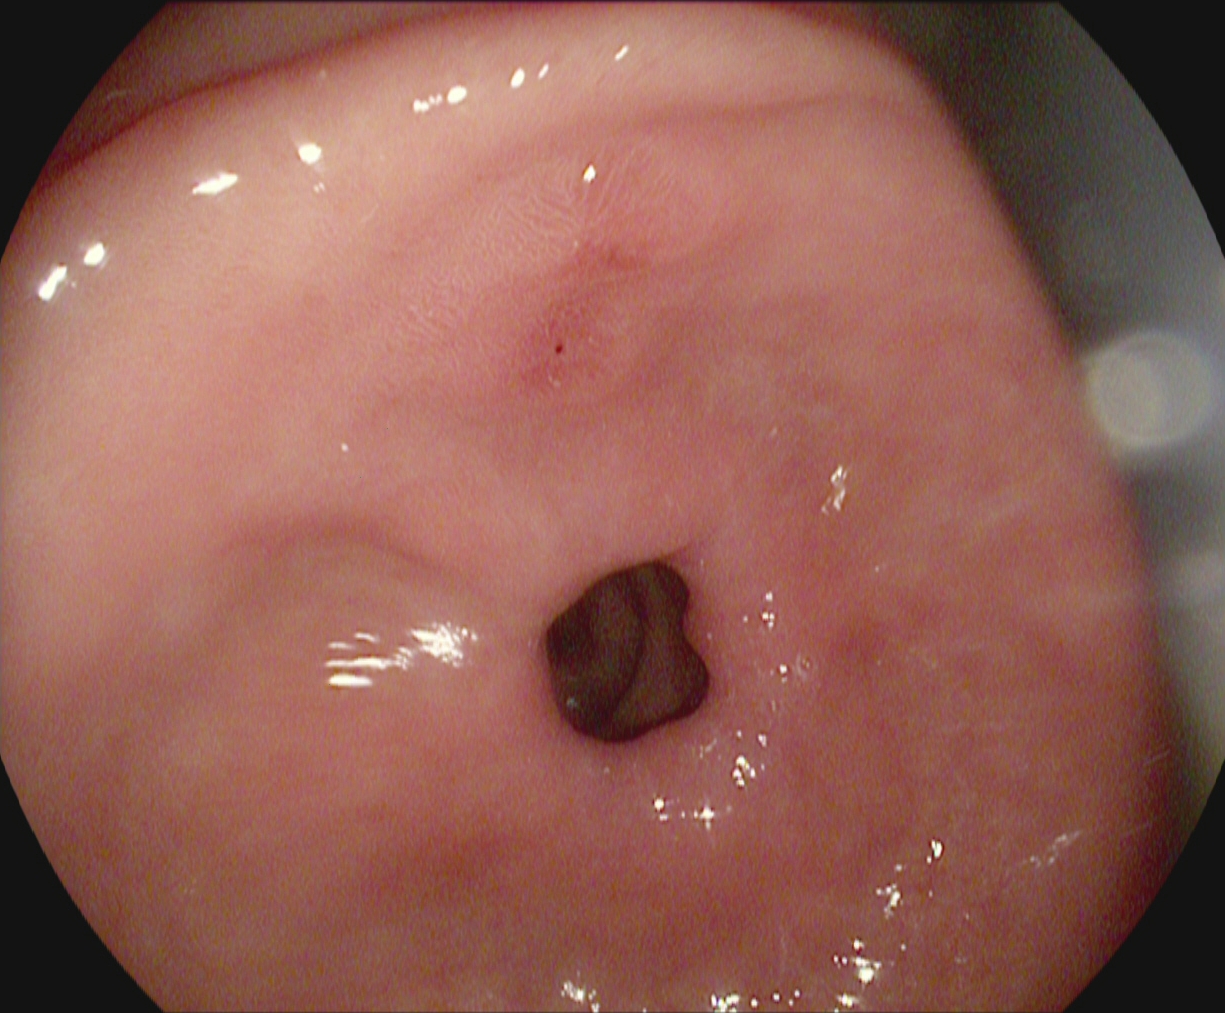modality: upper-GI endoscopy; finding: pylorus